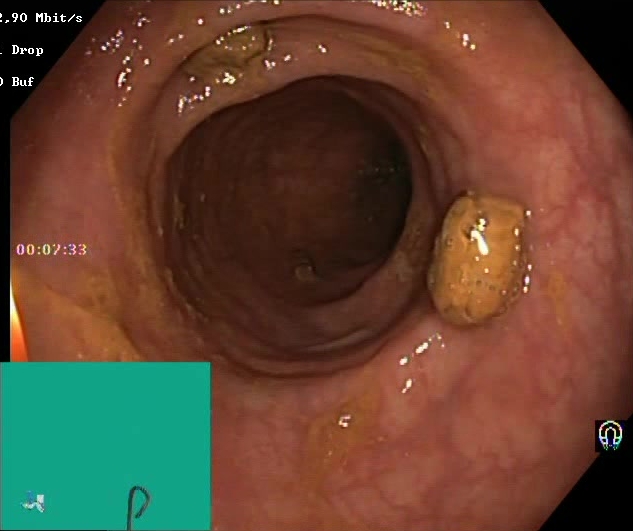Impacted stool.